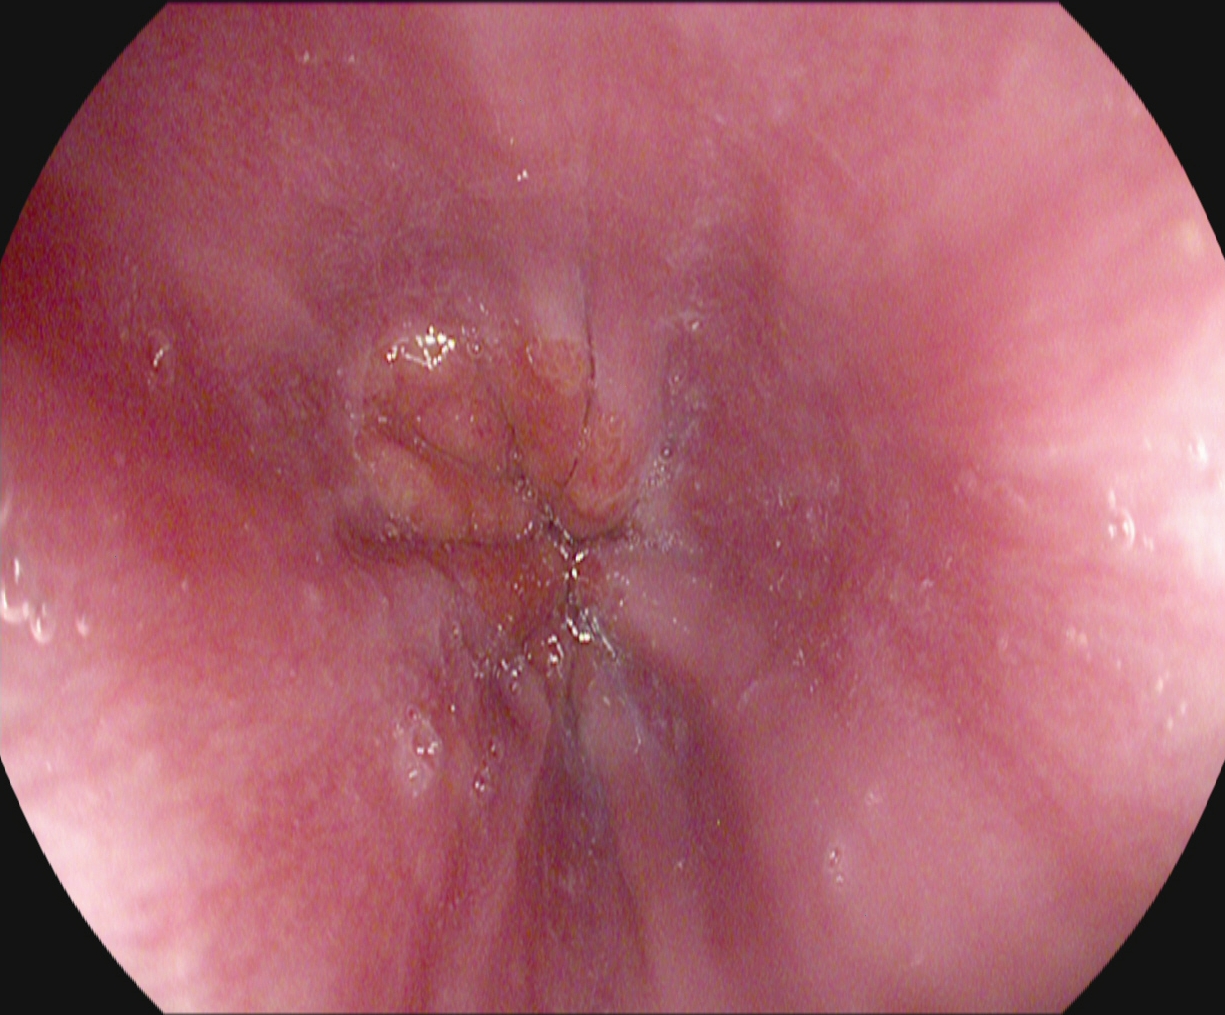PROCEDURE: Gastroscopy.
FINDINGS: Z-line (gastroesophageal junction).